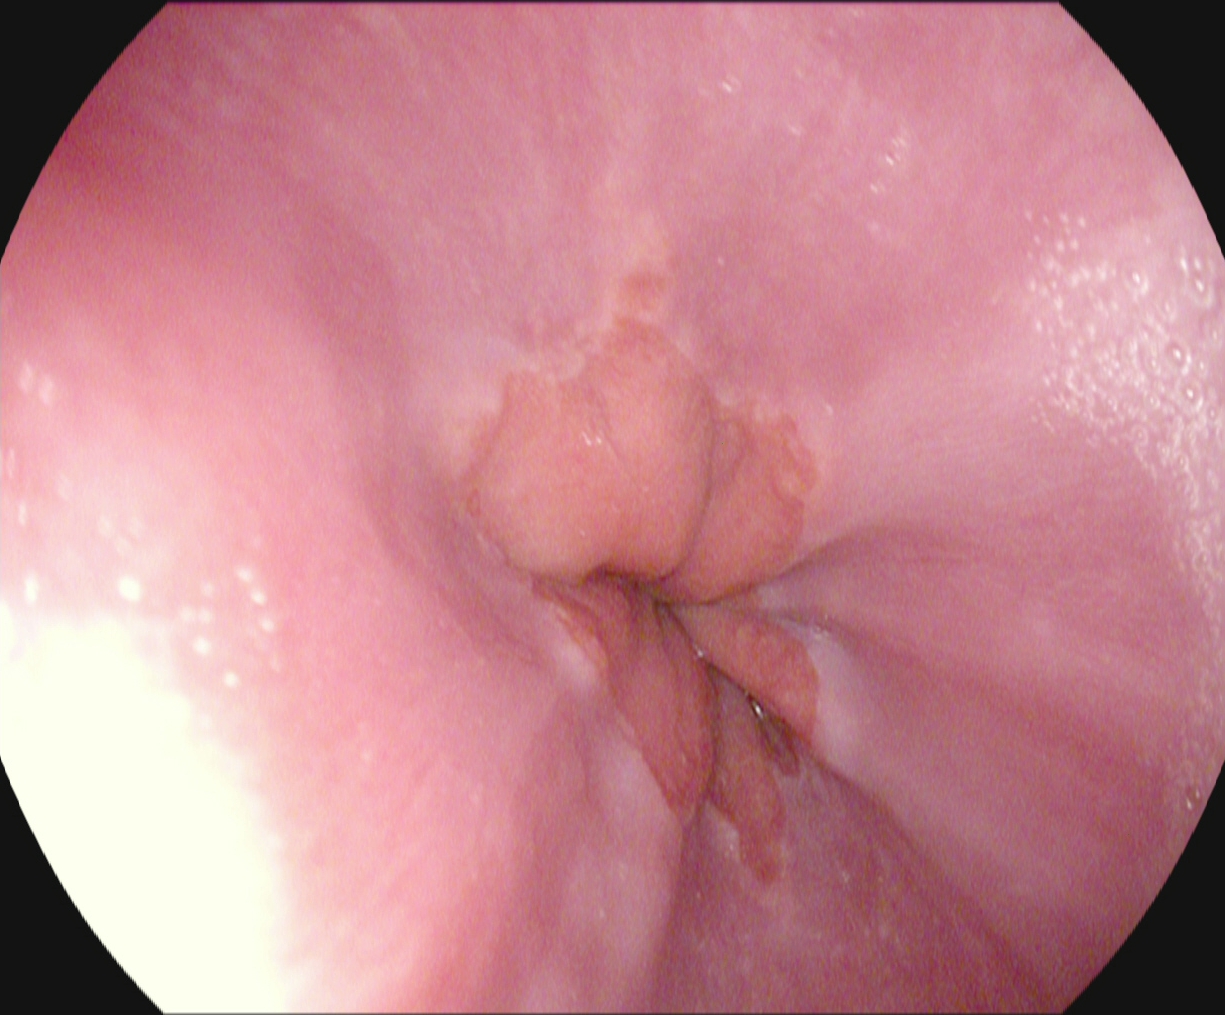modality: EGD; category: anatomical landmark; finding: Z-line (gastroesophageal junction)